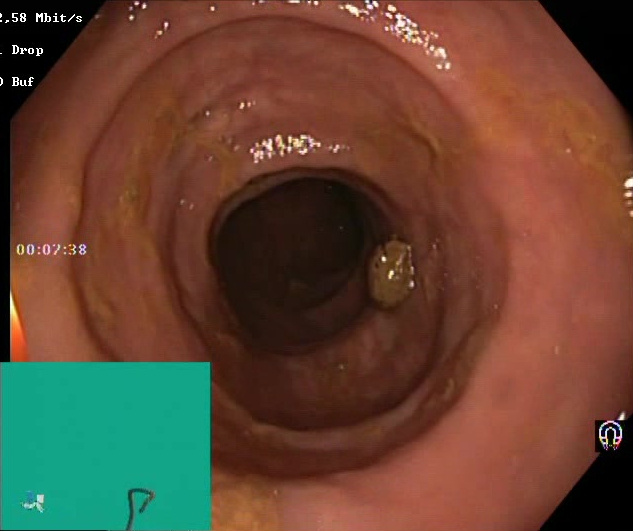Lower-GI endoscopy — Boston Bowel Preparation Scale score 2–3 (adequate preparation).